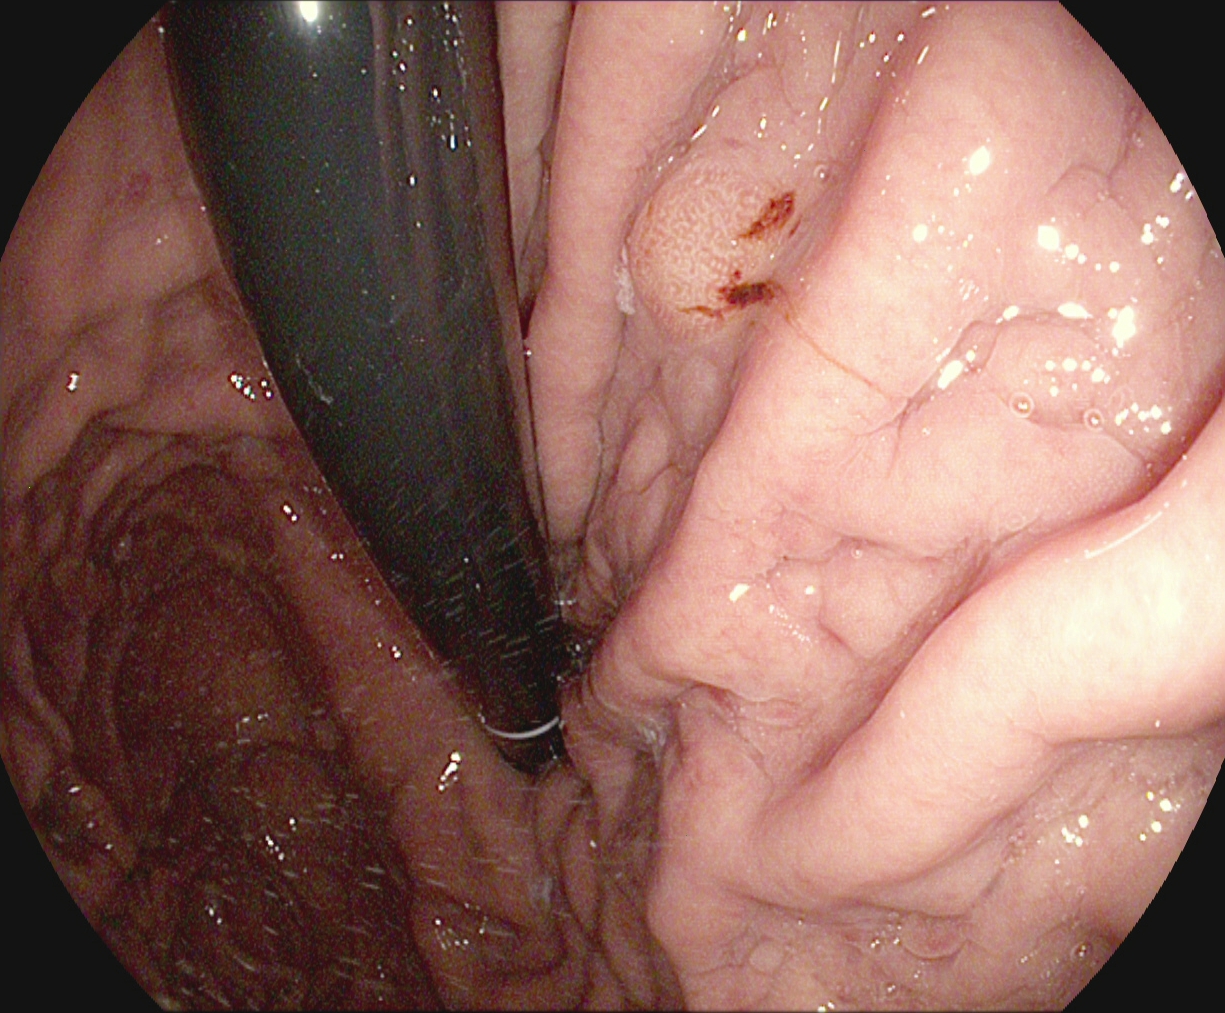modality: upper-GI endoscopy | finding: stomach in retroflexion